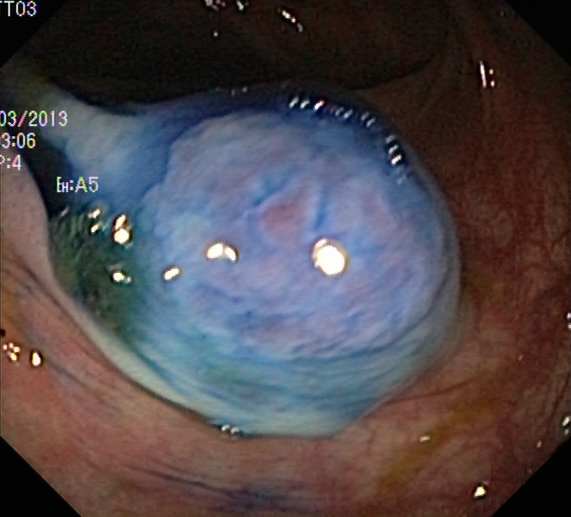dyed and lifted polyp (pre-resection).